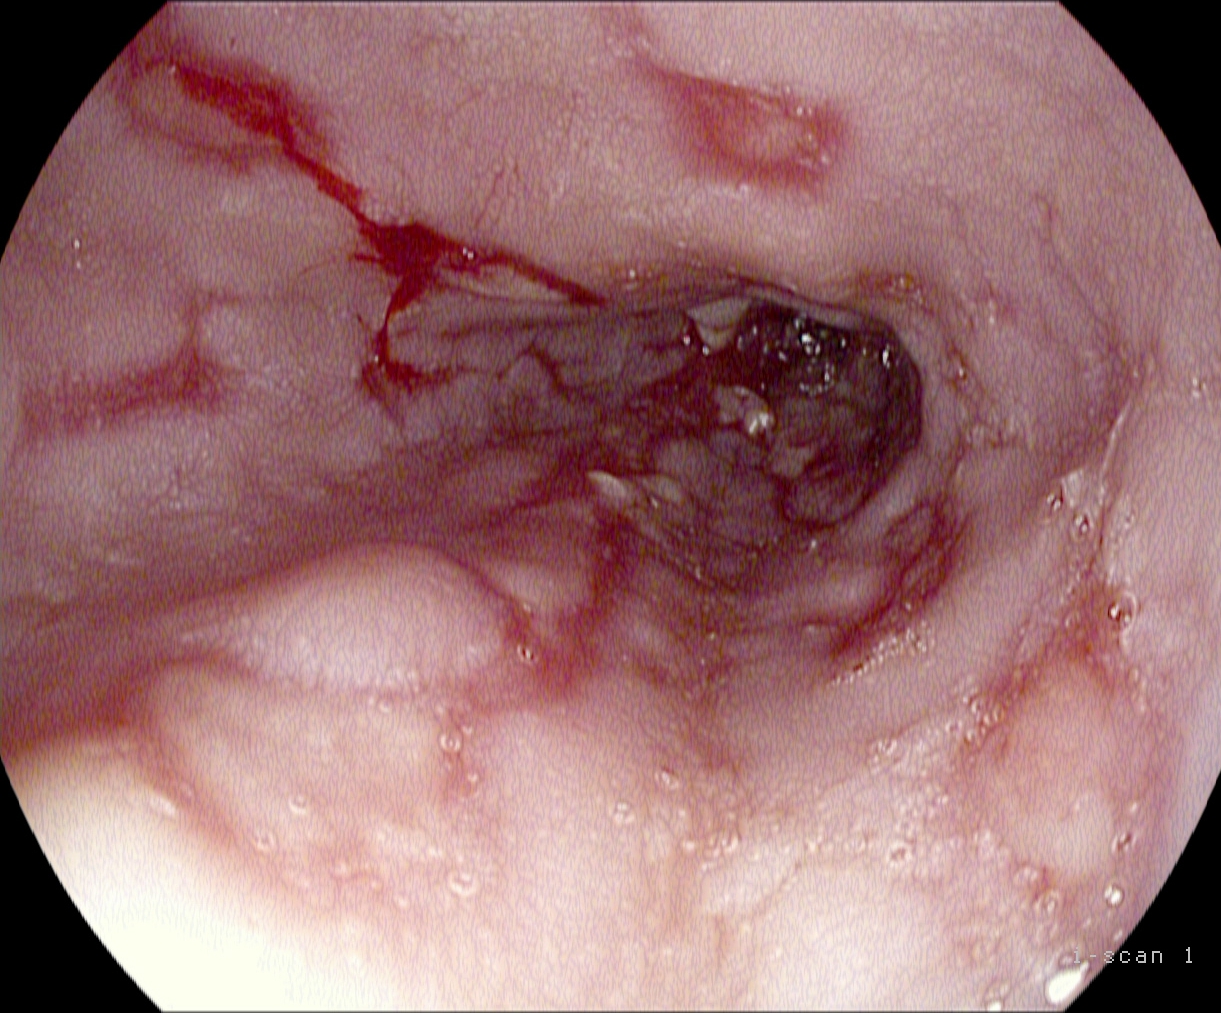Endoscopic frame of the upper GI tract showing reflux esophagitis, Los Angeles grade B–D.